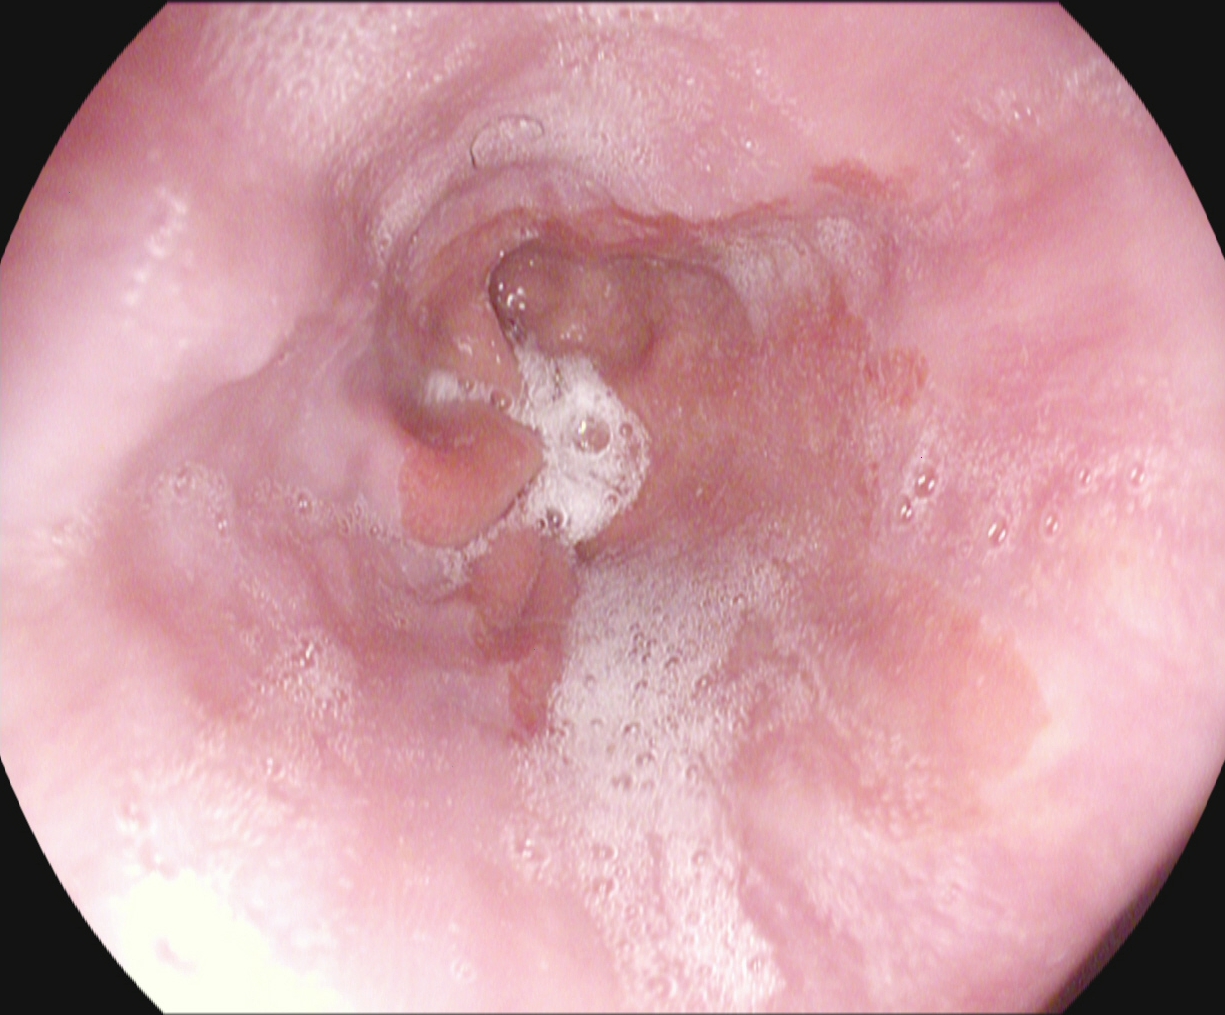Gastrointestinal endoscopy image of the upper GI tract showing Barrett's esophagus.